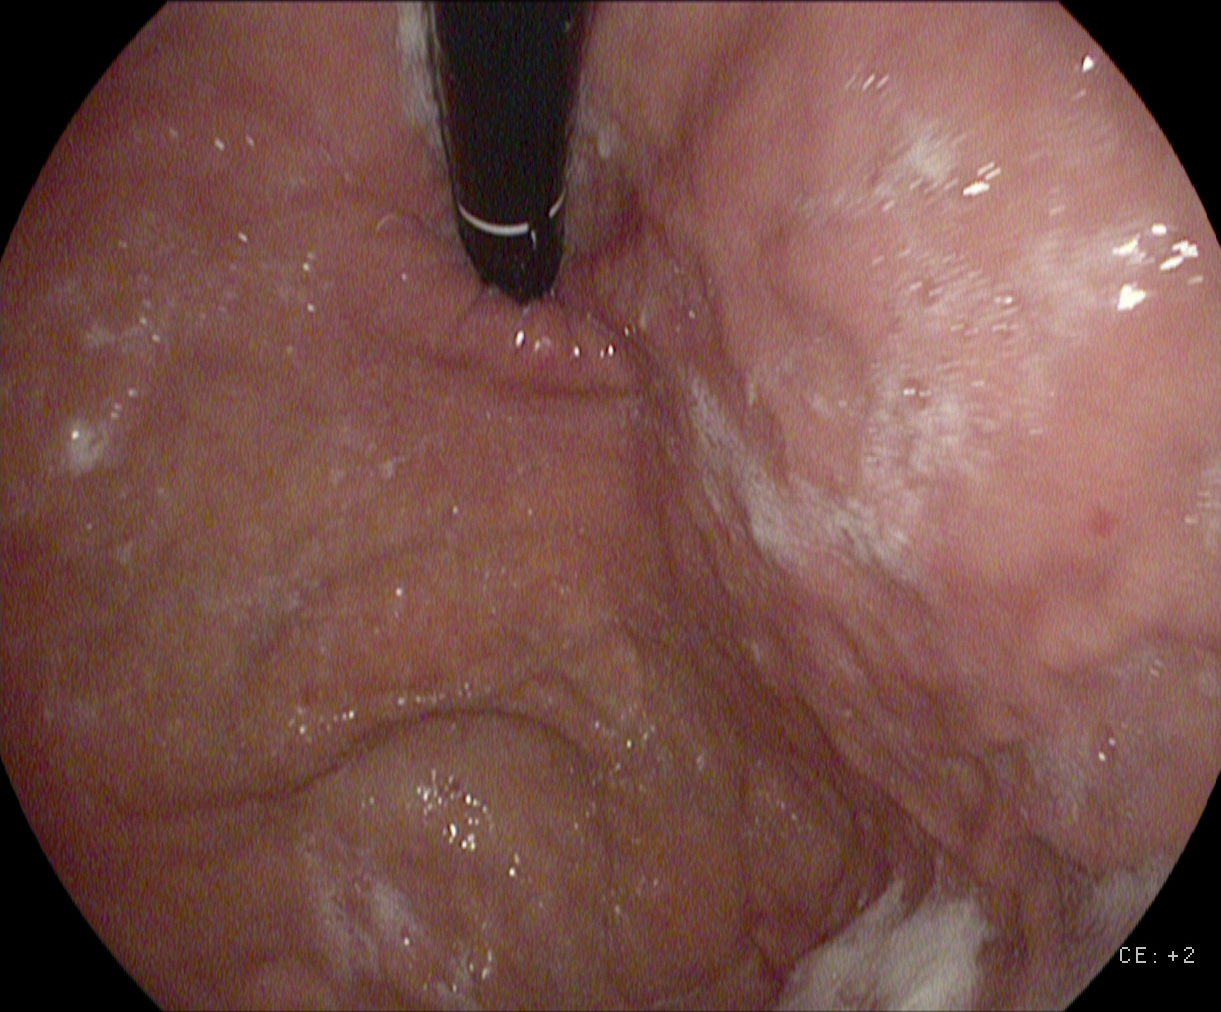modality: esophagogastroduodenoscopy | finding: stomach in retroflexion